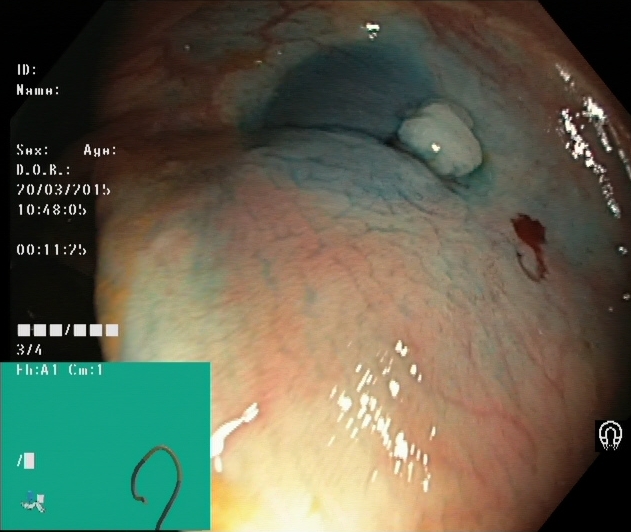modality: lower gastrointestinal endoscopy
category: therapeutic intervention
finding: dyed and lifted polyp (pre-resection)